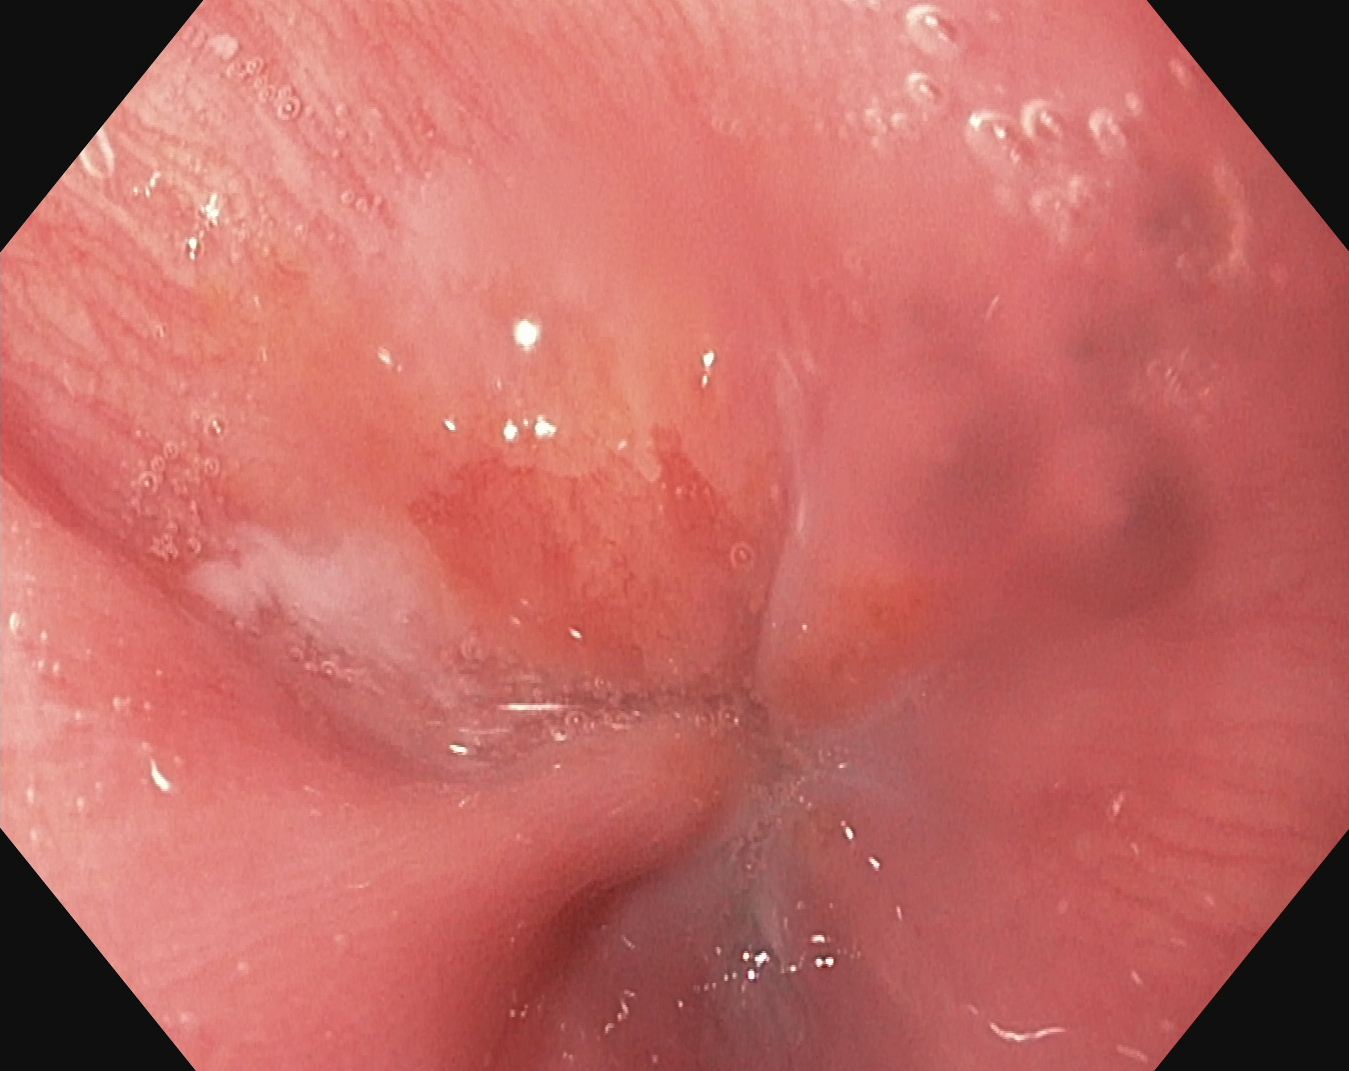EGD. Tract: upper GI tract. Finding: Z-line (gastroesophageal junction).